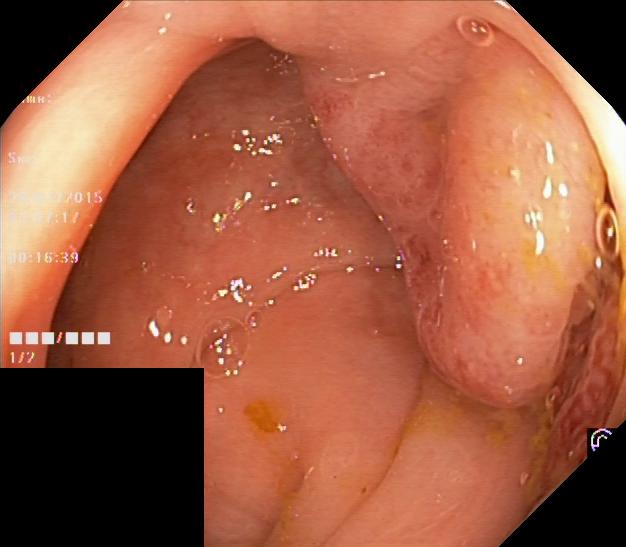Colonoscopy. Tract: lower GI tract. Pathological finding. Finding: colorectal polyp(s).